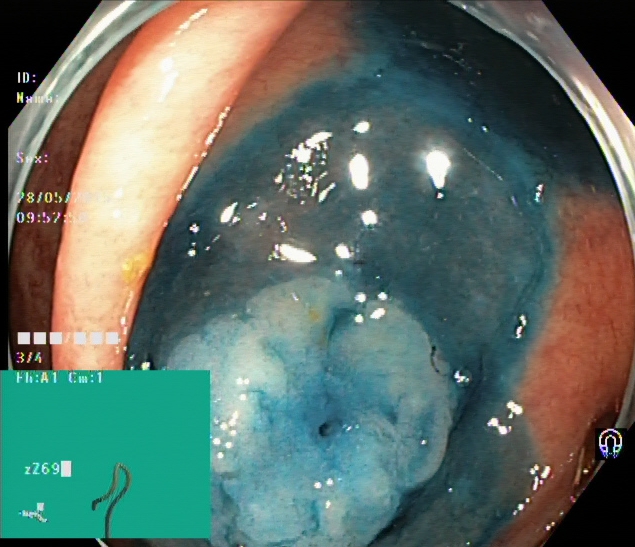modality: lower-GI endoscopy; finding: dyed and lifted polyp (pre-resection)